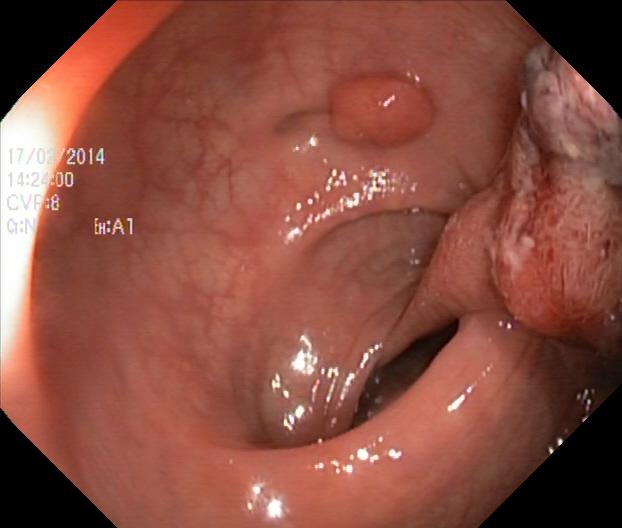Colorectal polyp(s).